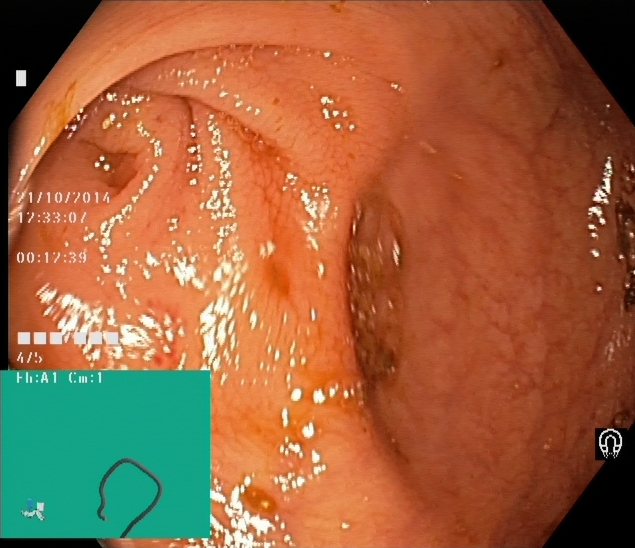modality: lower-GI endoscopy | tract: lower GI tract | finding: cecum